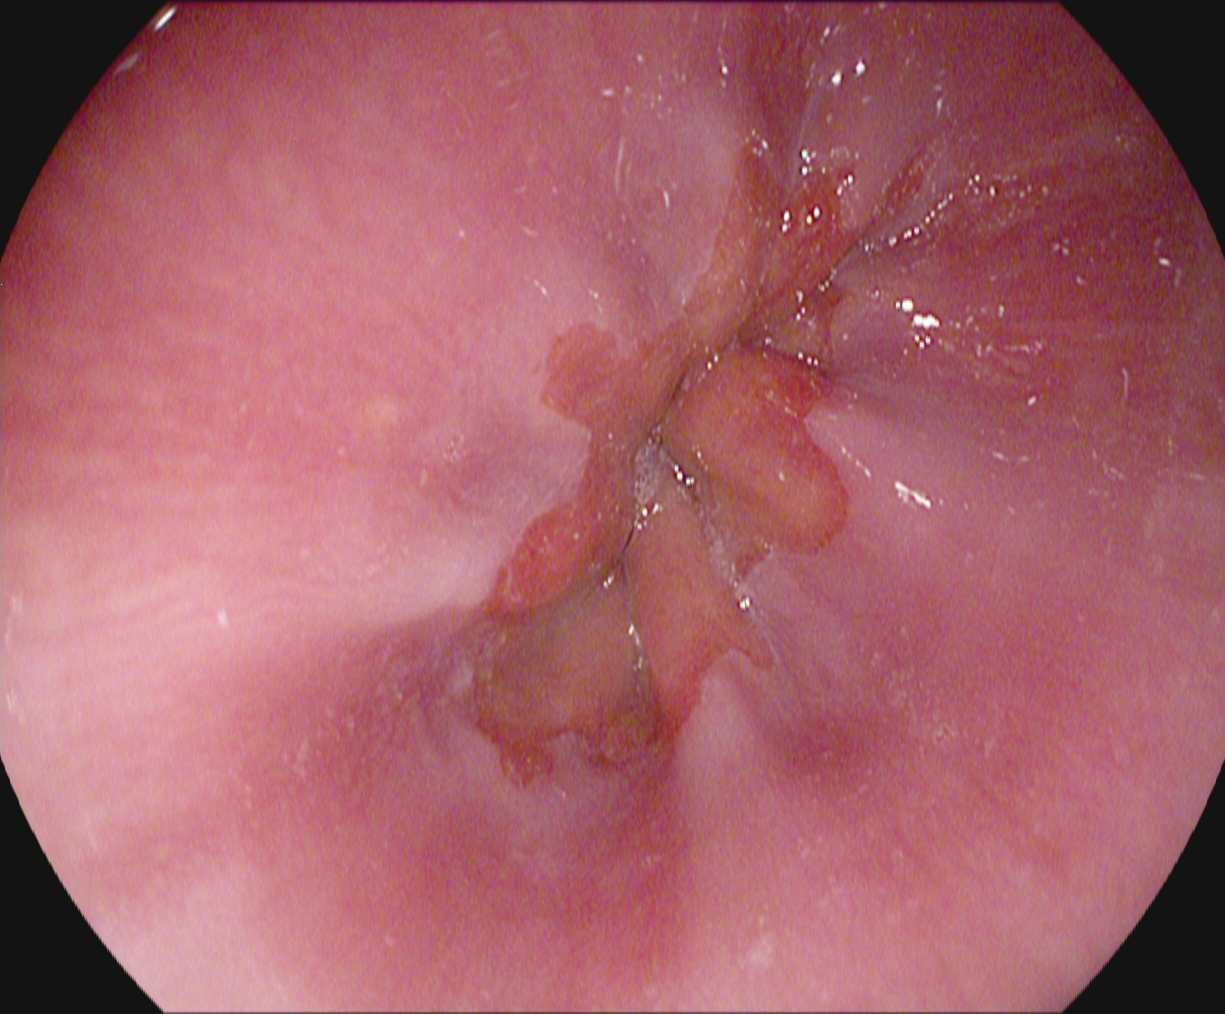modality: upper-GI endoscopy
tract: upper GI tract
finding: Z-line (gastroesophageal junction)